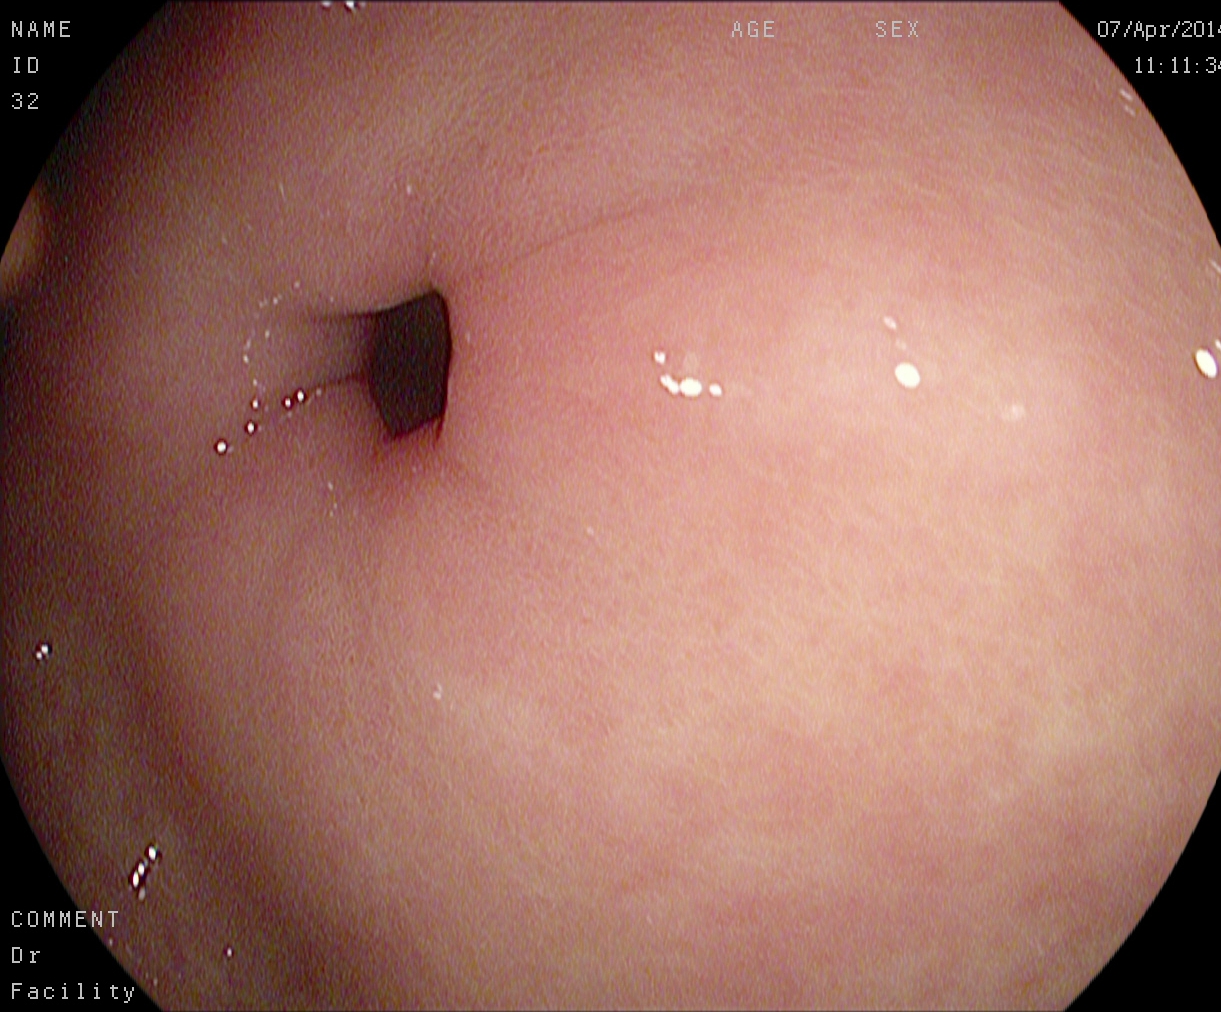Gastroscopy — pylorus.